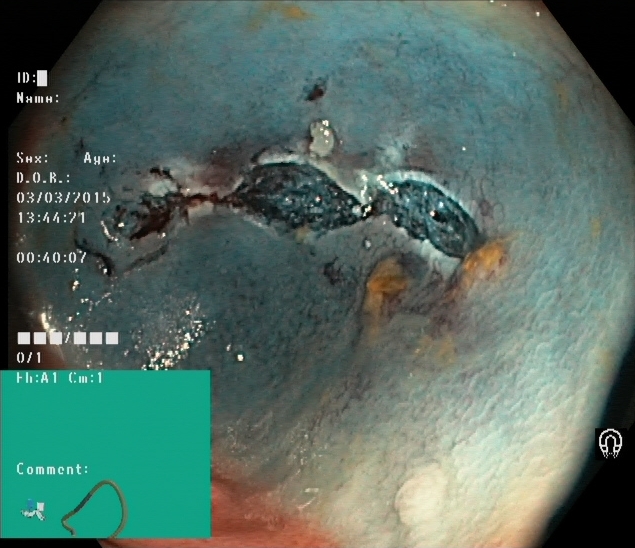modality: lower-GI endoscopy
finding: dyed resection margins (post-polypectomy)